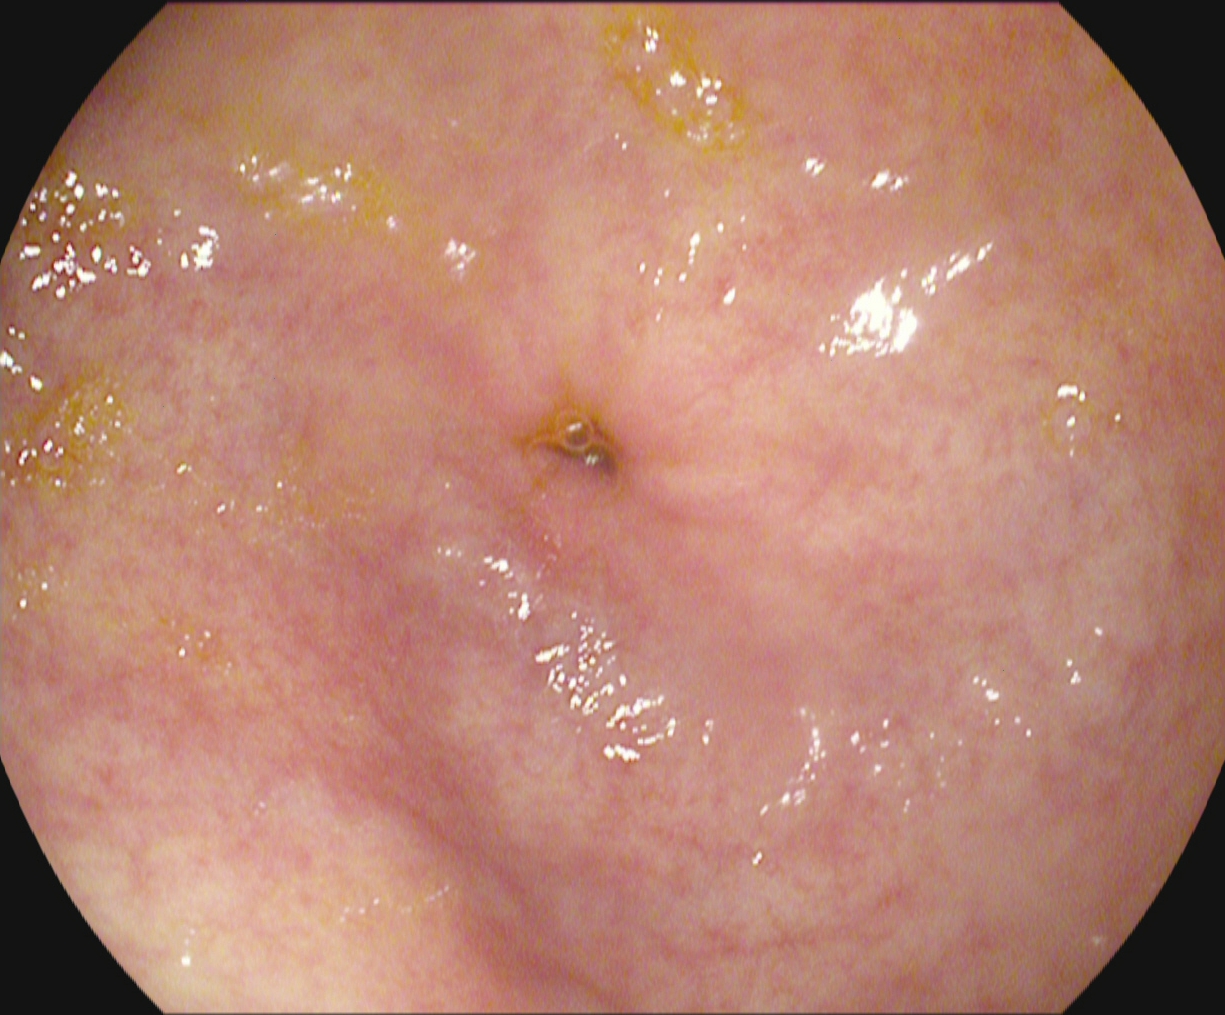Pylorus.